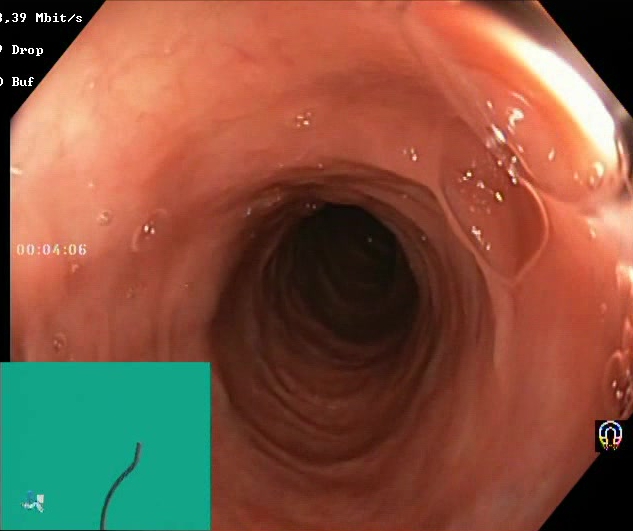Colonoscopy image of the lower GI tract showing Boston Bowel Preparation Scale score 2–3 (adequate preparation).